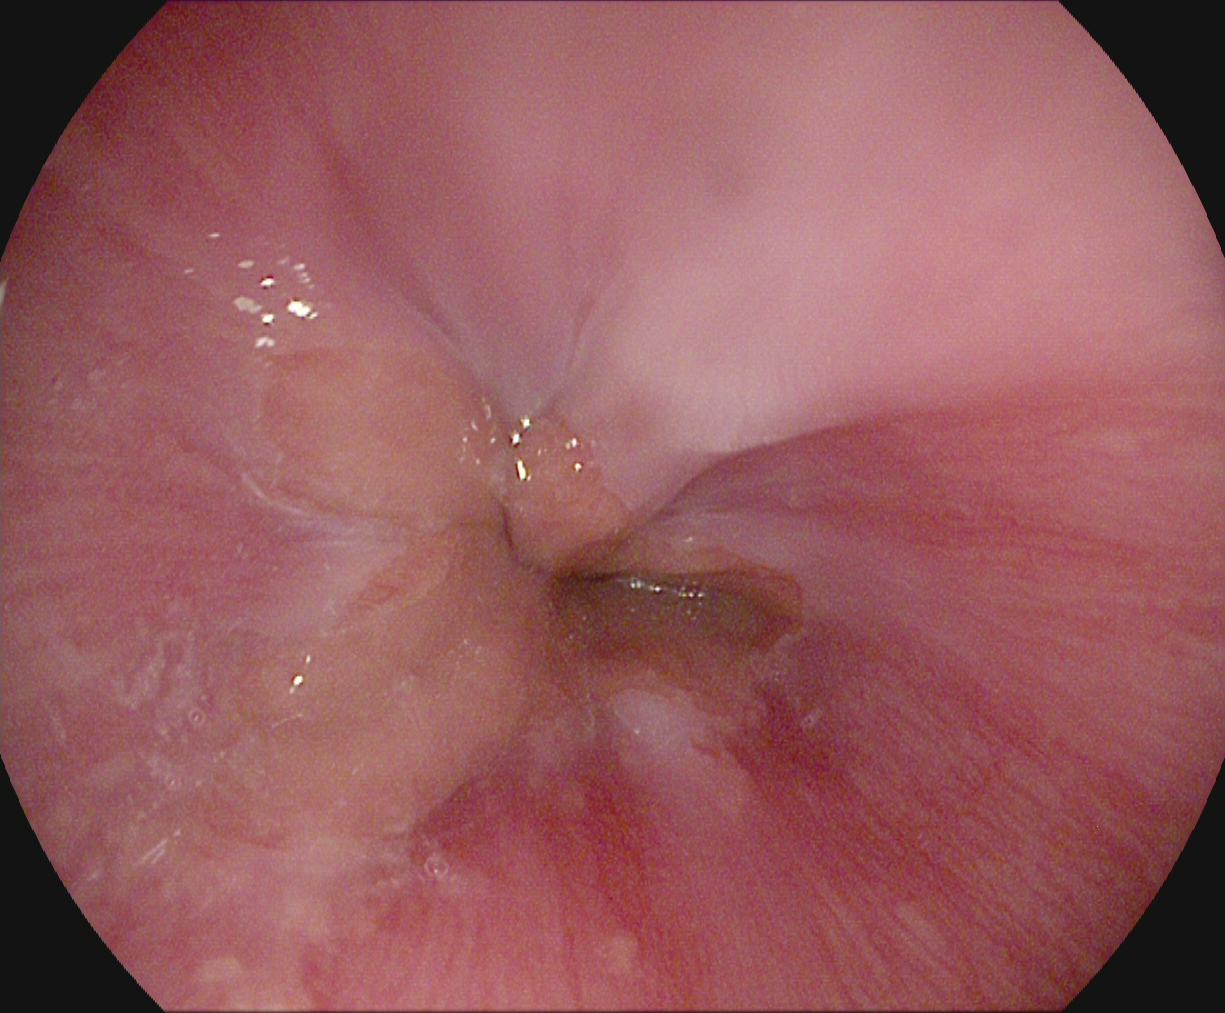Z-line (gastroesophageal junction).